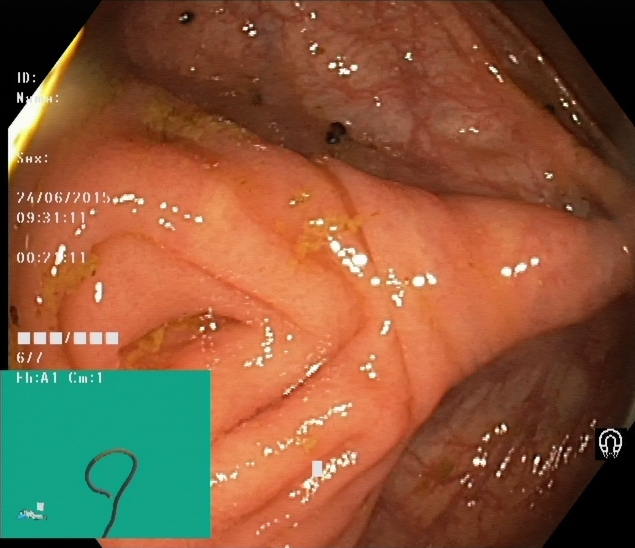Lower-GI endoscopy image of the lower GI tract showing cecum.